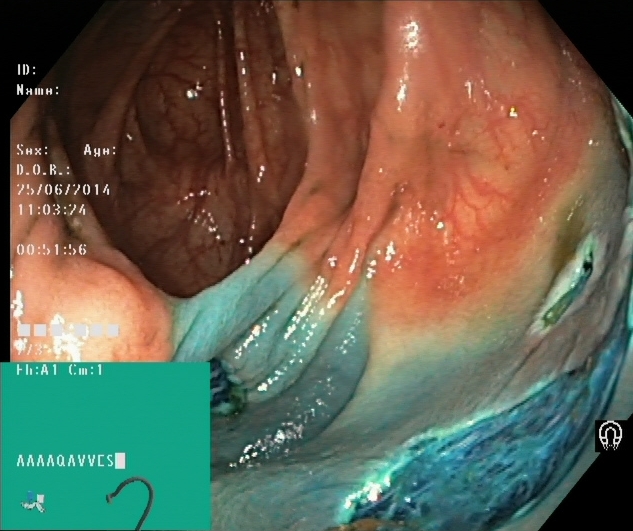{"modality": "lower gastrointestinal endoscopy", "tract": "lower GI tract", "category": "therapeutic intervention", "finding": "dyed resection margins (post-polypectomy)"}